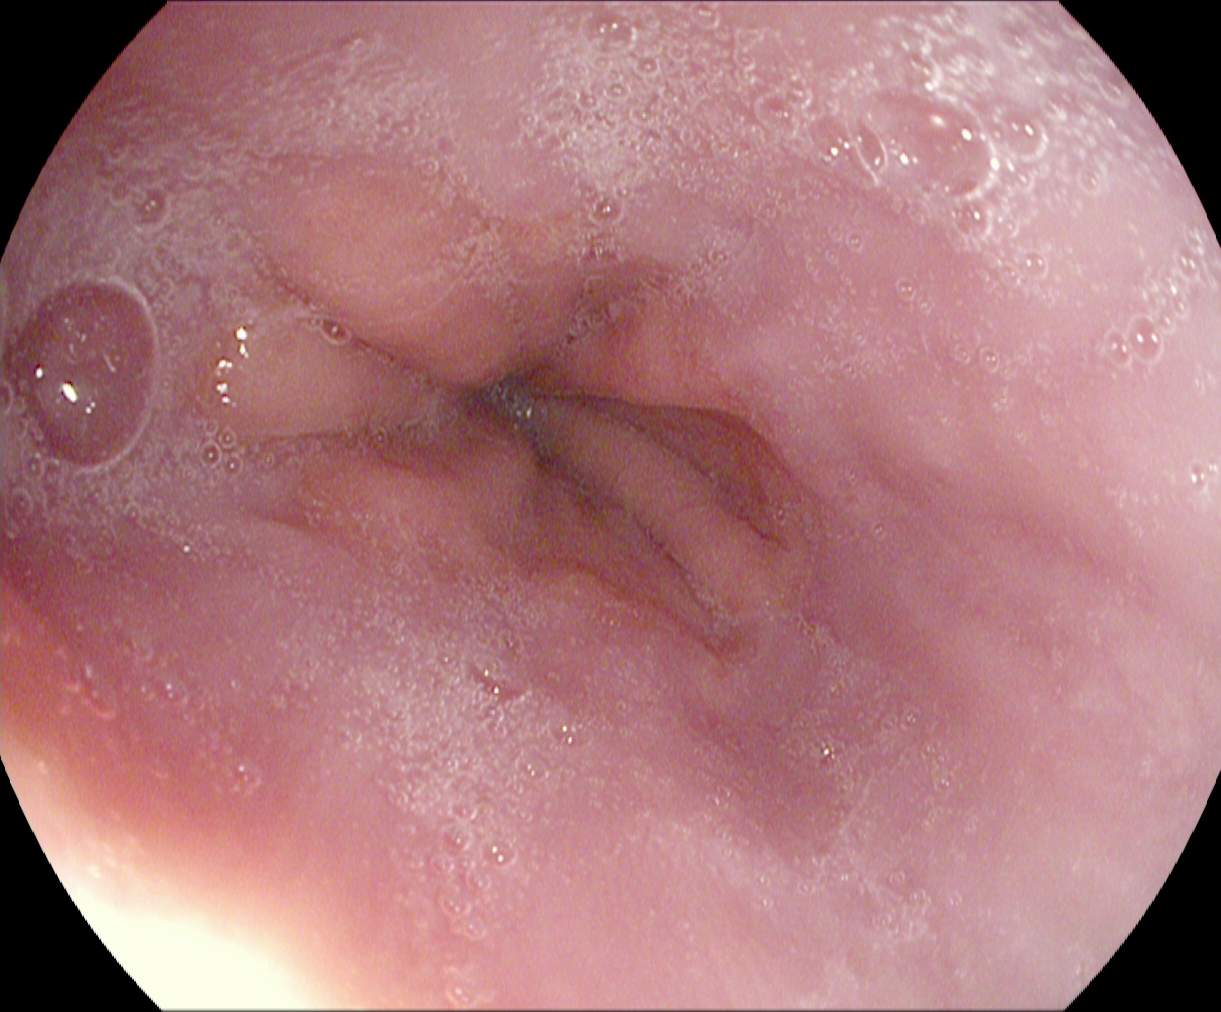modality: EGD; tract: upper GI tract; category: anatomical landmark; finding: Z-line (gastroesophageal junction)